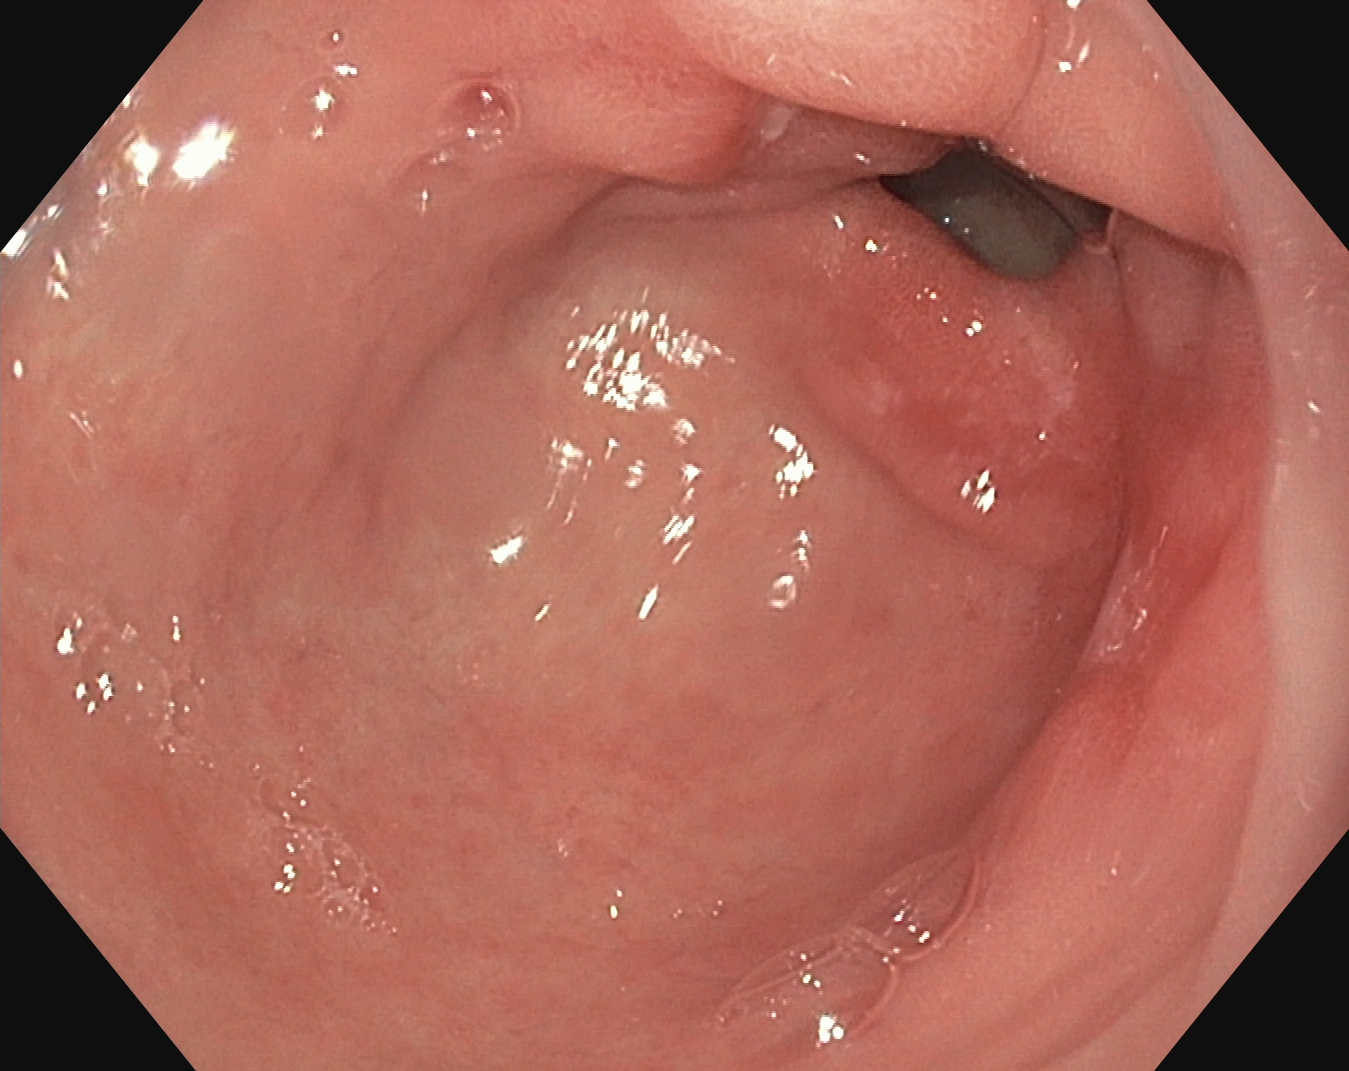PROCEDURE: Esophagogastroduodenoscopy.
CATEGORY: Anatomical landmark.
FINDINGS: Pylorus.